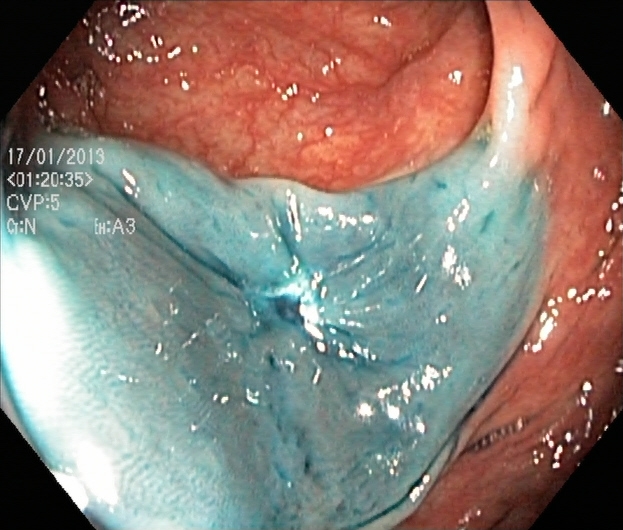Dyed resection margins (post-polypectomy).